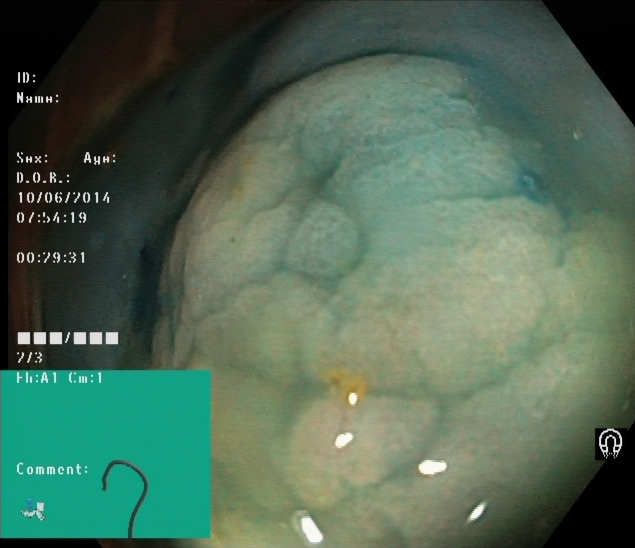Colonoscopy. Therapeutic intervention. Finding: dyed and lifted polyp (pre-resection).